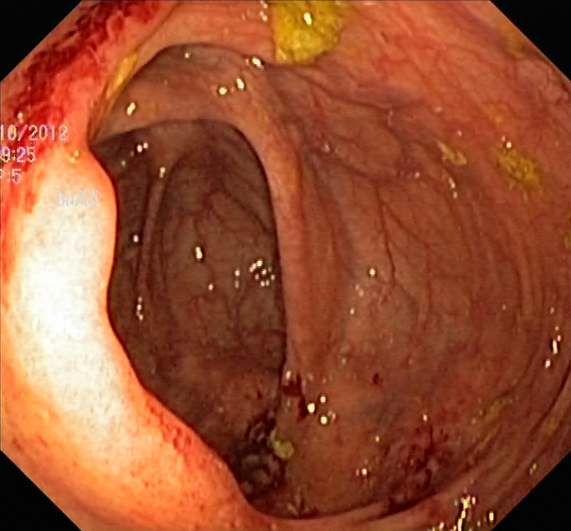Lower gastrointestinal endoscopy. Finding: ulcerative colitis, Mayo endoscopic subscore 1.